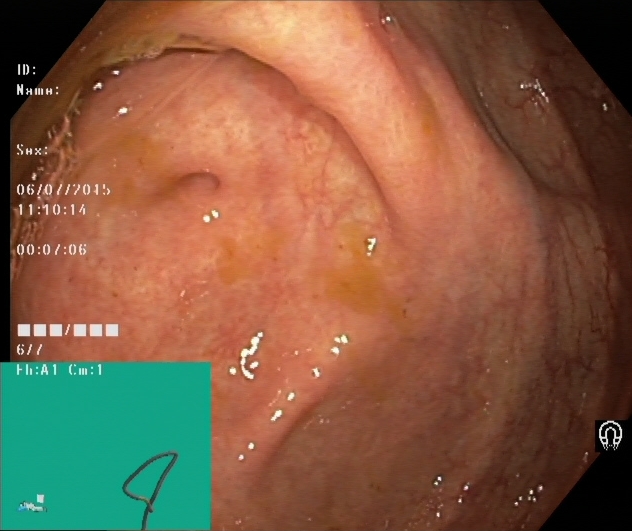PROCEDURE: Lower gastrointestinal endoscopy.
FINDINGS: Cecum.